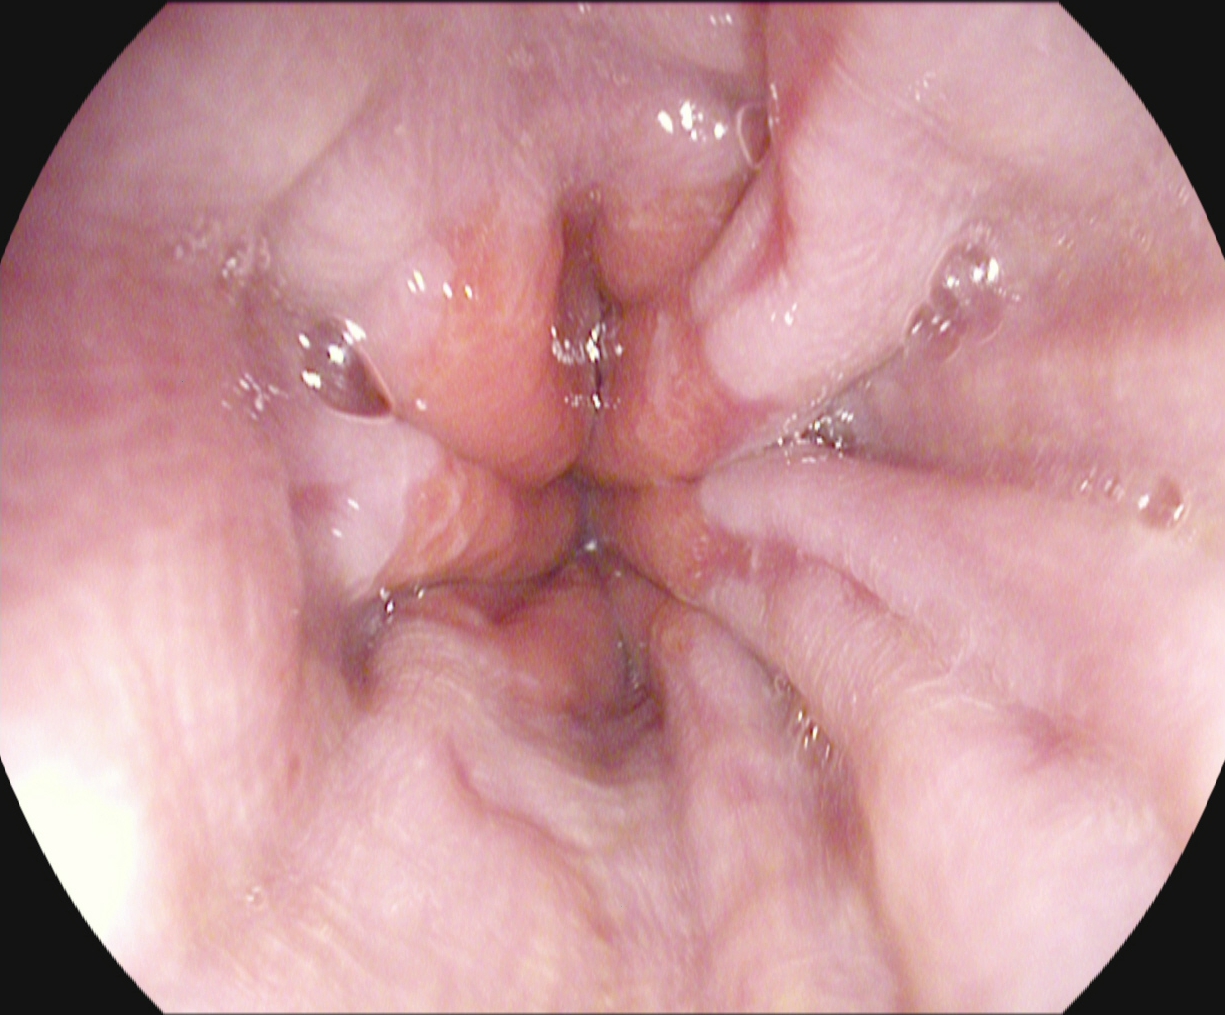Endoscopic frame of the upper GI tract showing reflux esophagitis, Los Angeles grade A.